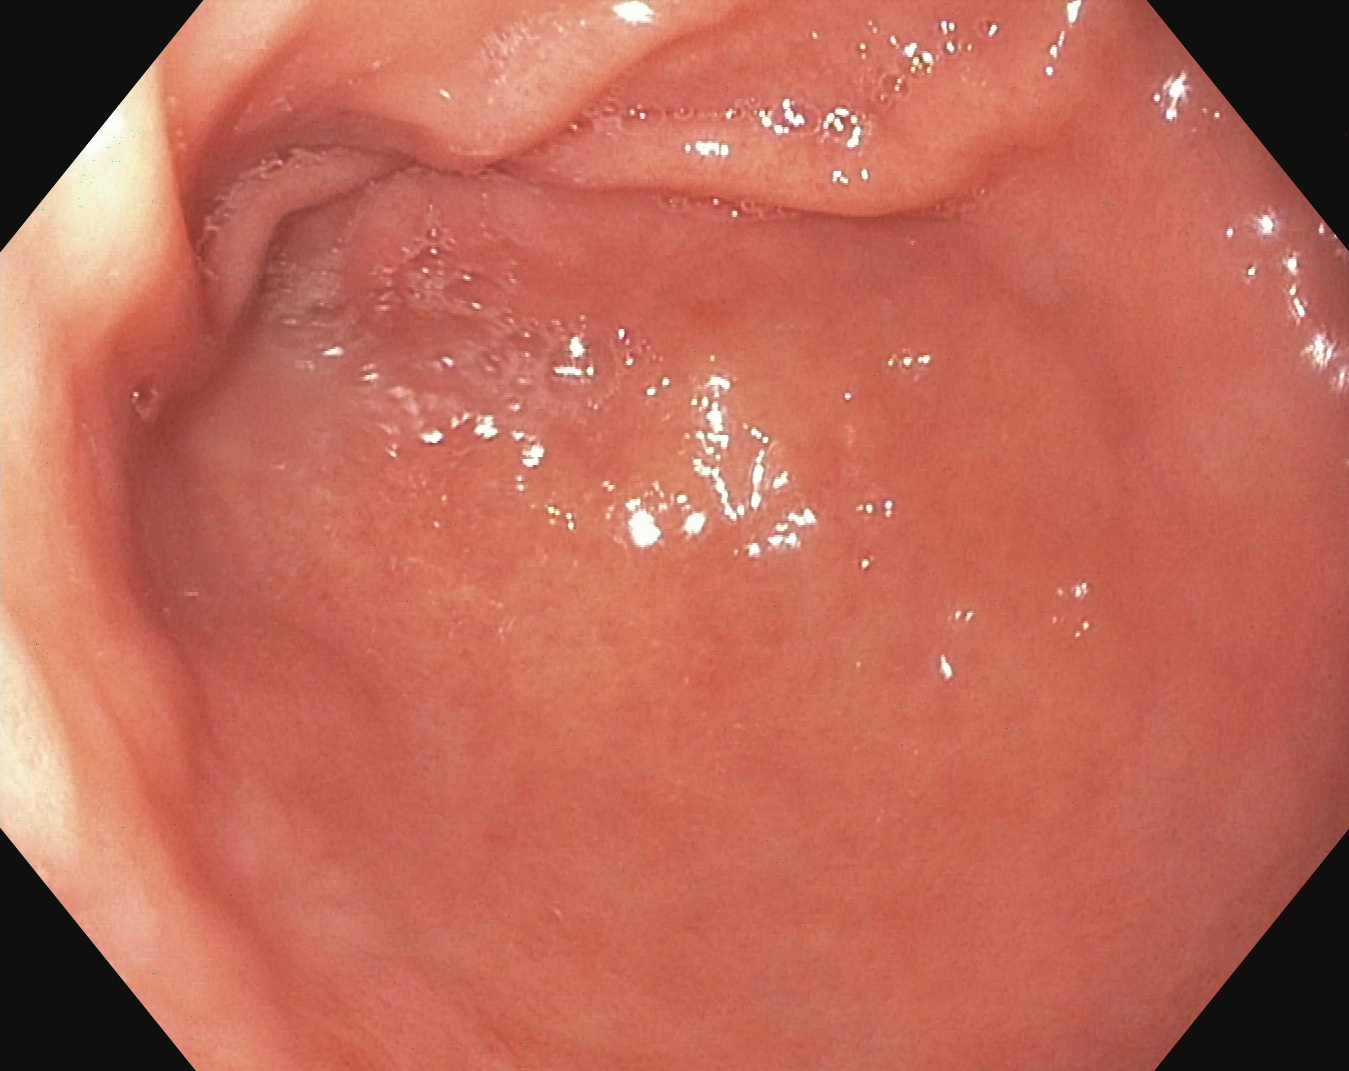Esophagogastroduodenoscopy image showing pylorus.